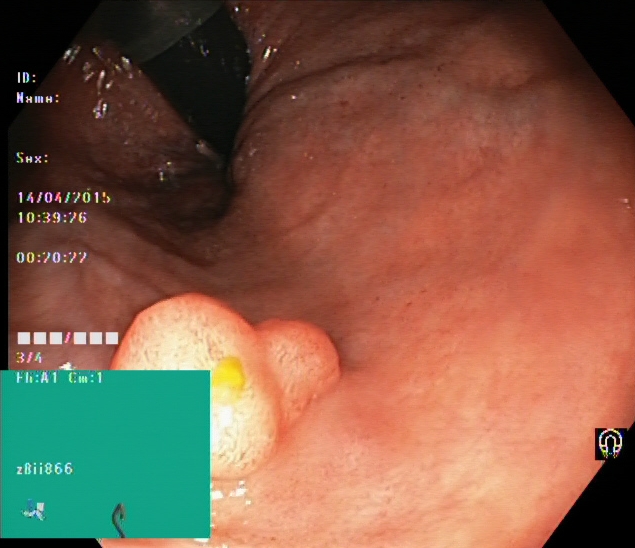modality: colonoscopy | category: pathological finding | finding: colorectal polyp(s)